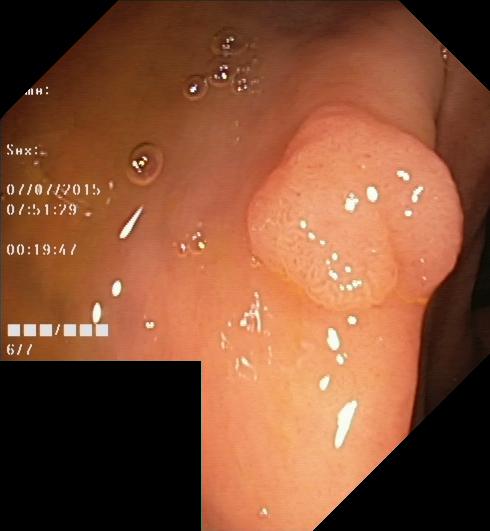Endoscopic image showing colorectal polyp(s).